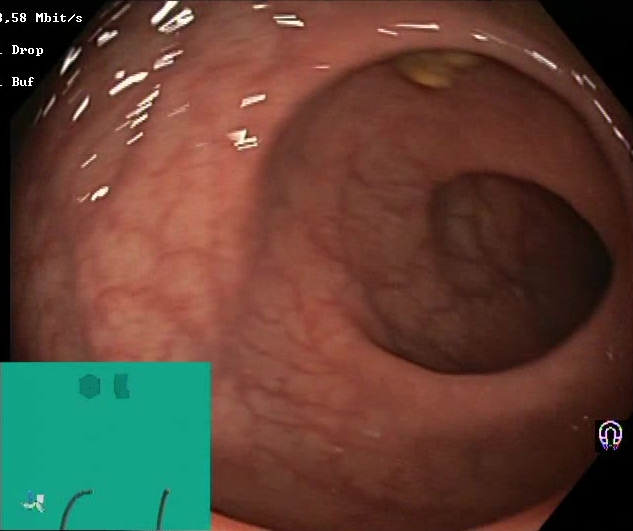PROCEDURE: Colonoscopy.
FINDINGS: Boston Bowel Preparation Scale score 2–3 (adequate preparation).